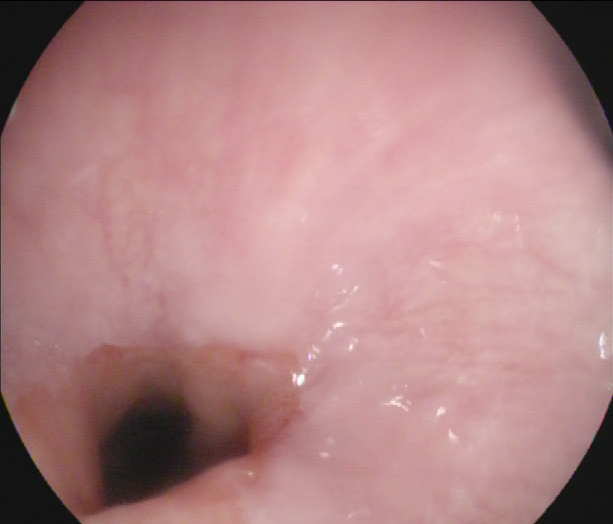{"modality": "upper-GI endoscopy", "tract": "upper GI tract", "finding": "Z-line (gastroesophageal junction)"}